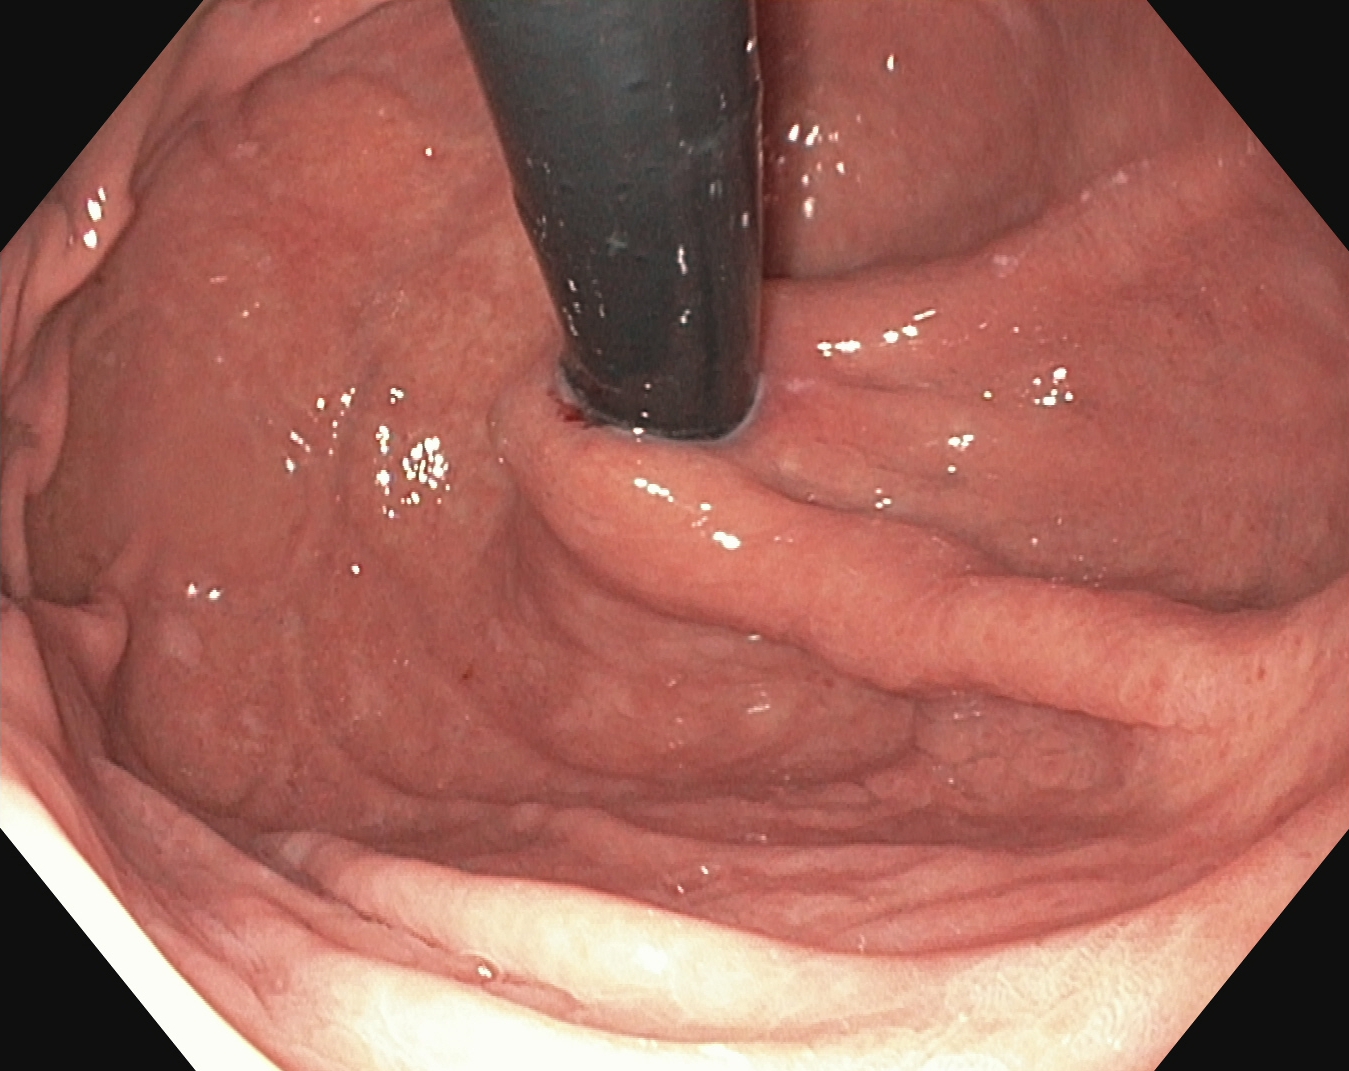Upper-GI endoscopy. Anatomical landmark. Finding: stomach in retroflexion.